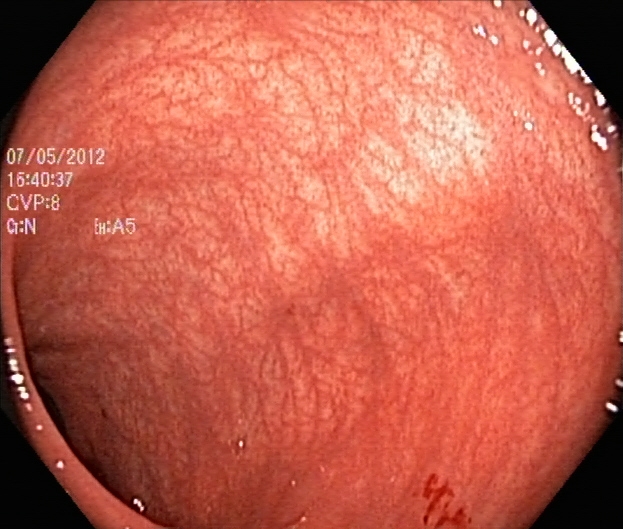Colonoscopy. Tract: lower GI tract. Finding: ulcerative colitis, Mayo endoscopic subscore 1.